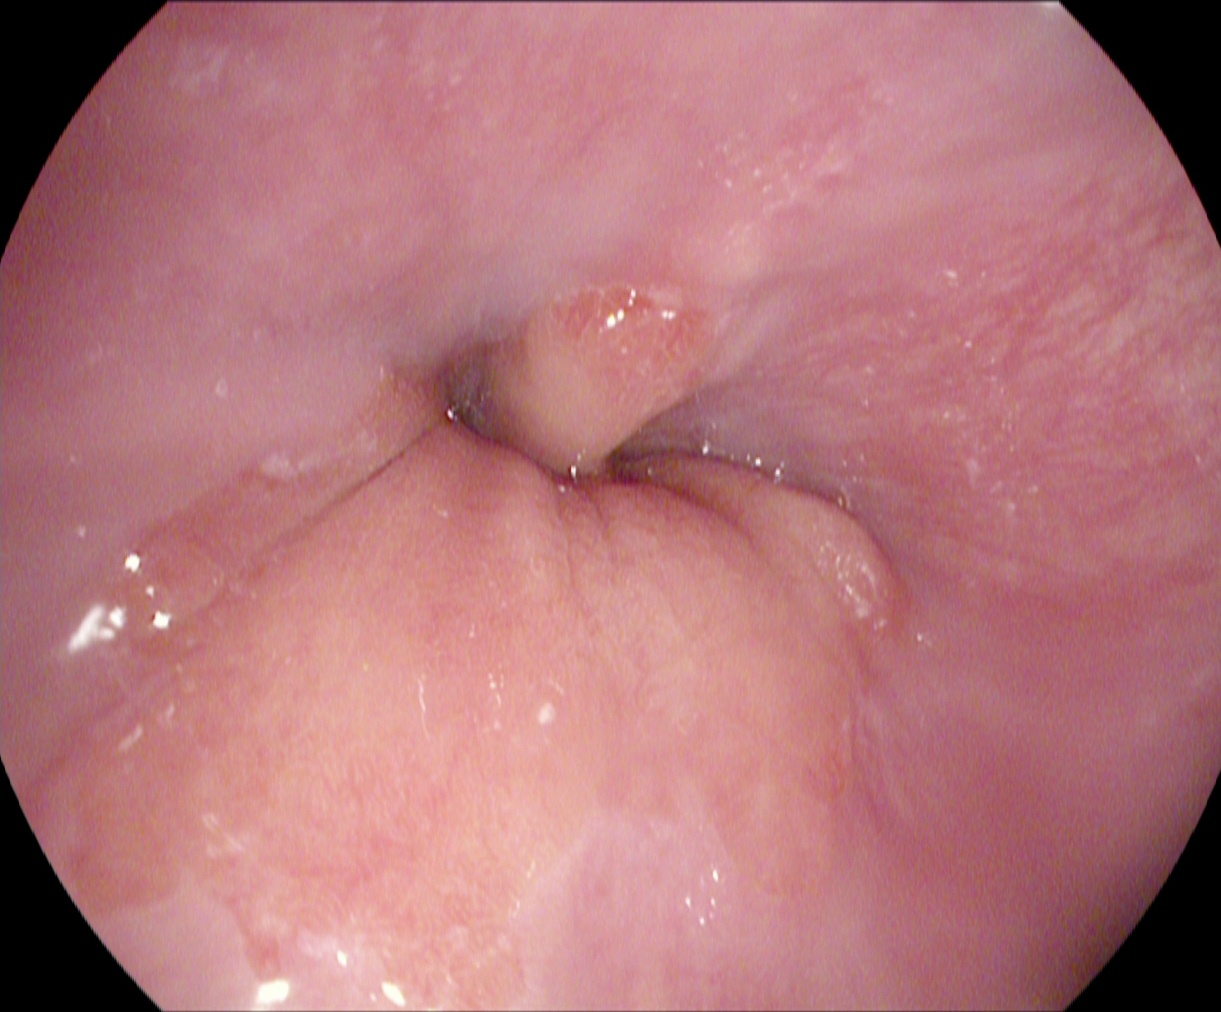Z-line (gastroesophageal junction).